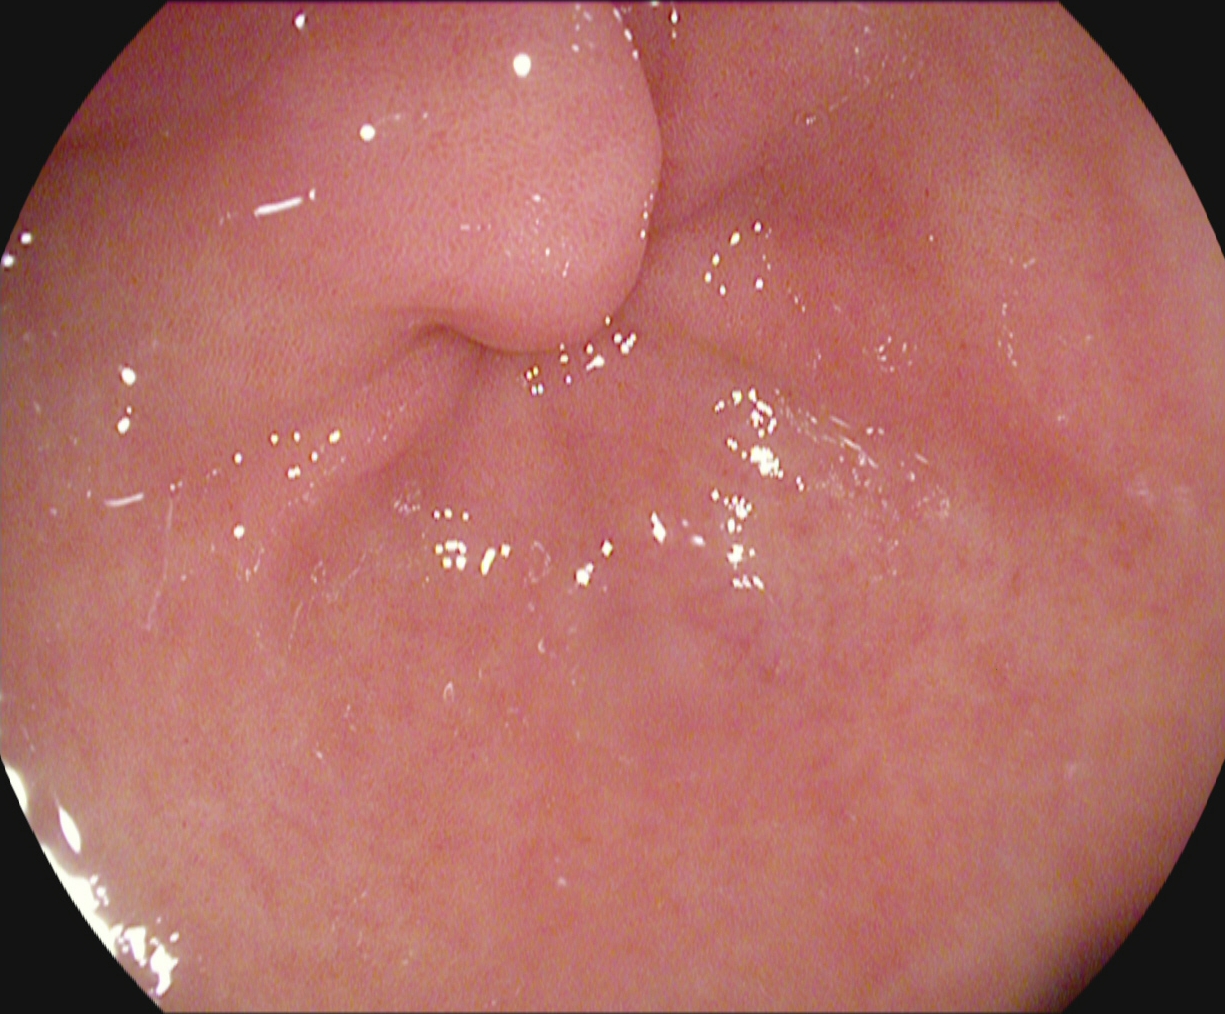{"modality": "esophagogastroduodenoscopy", "finding": "pylorus"}